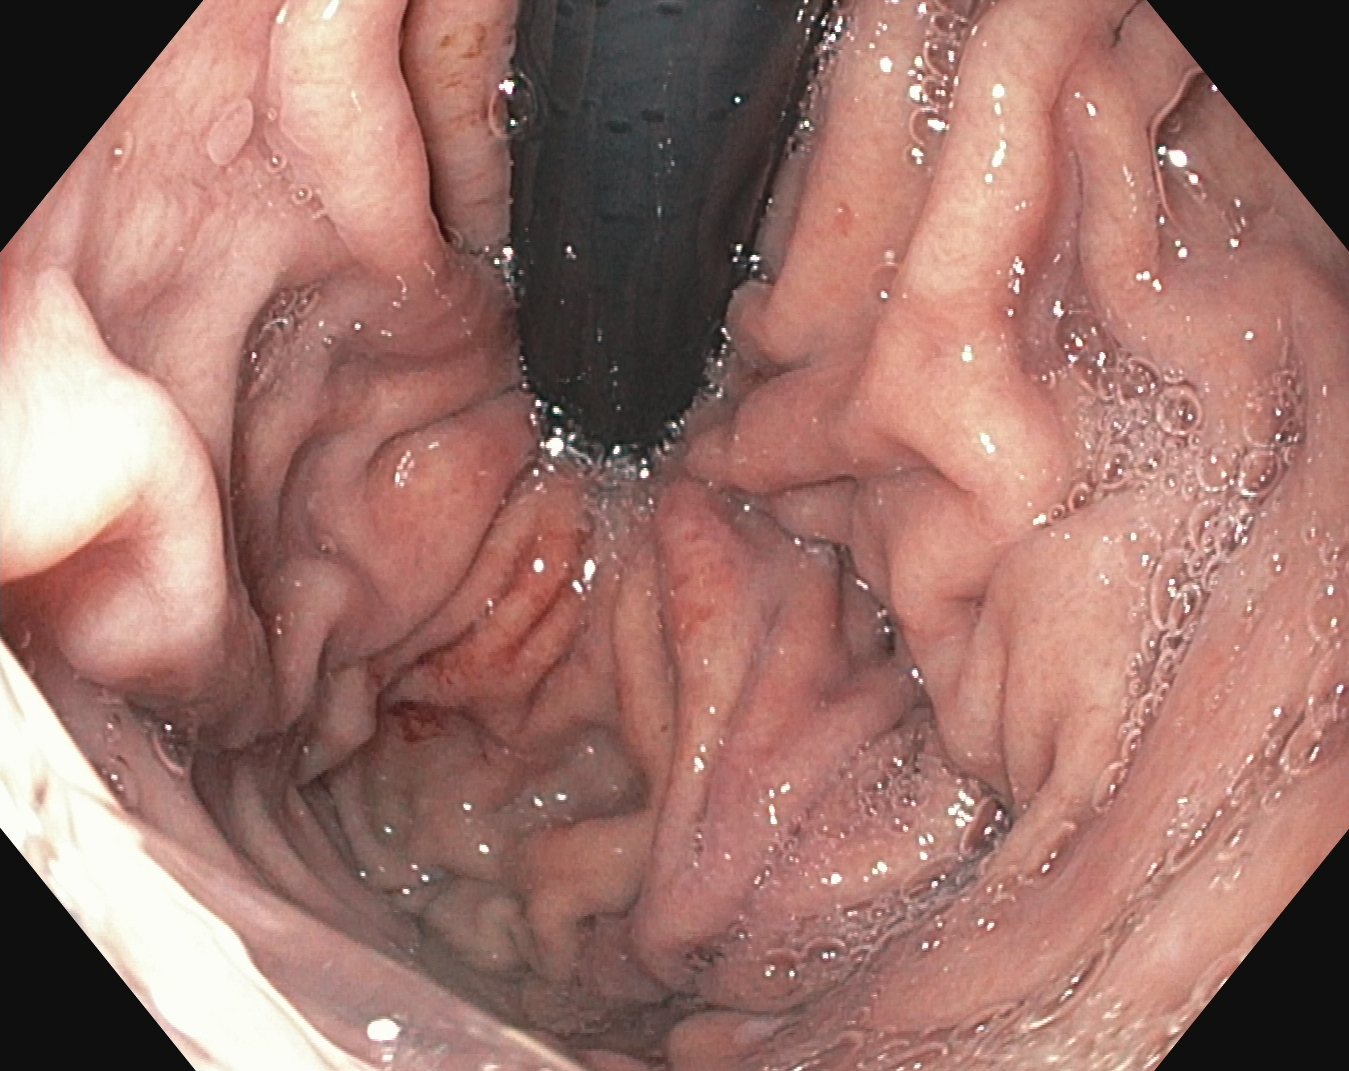Esophagogastroduodenoscopy image showing stomach in retroflexion.